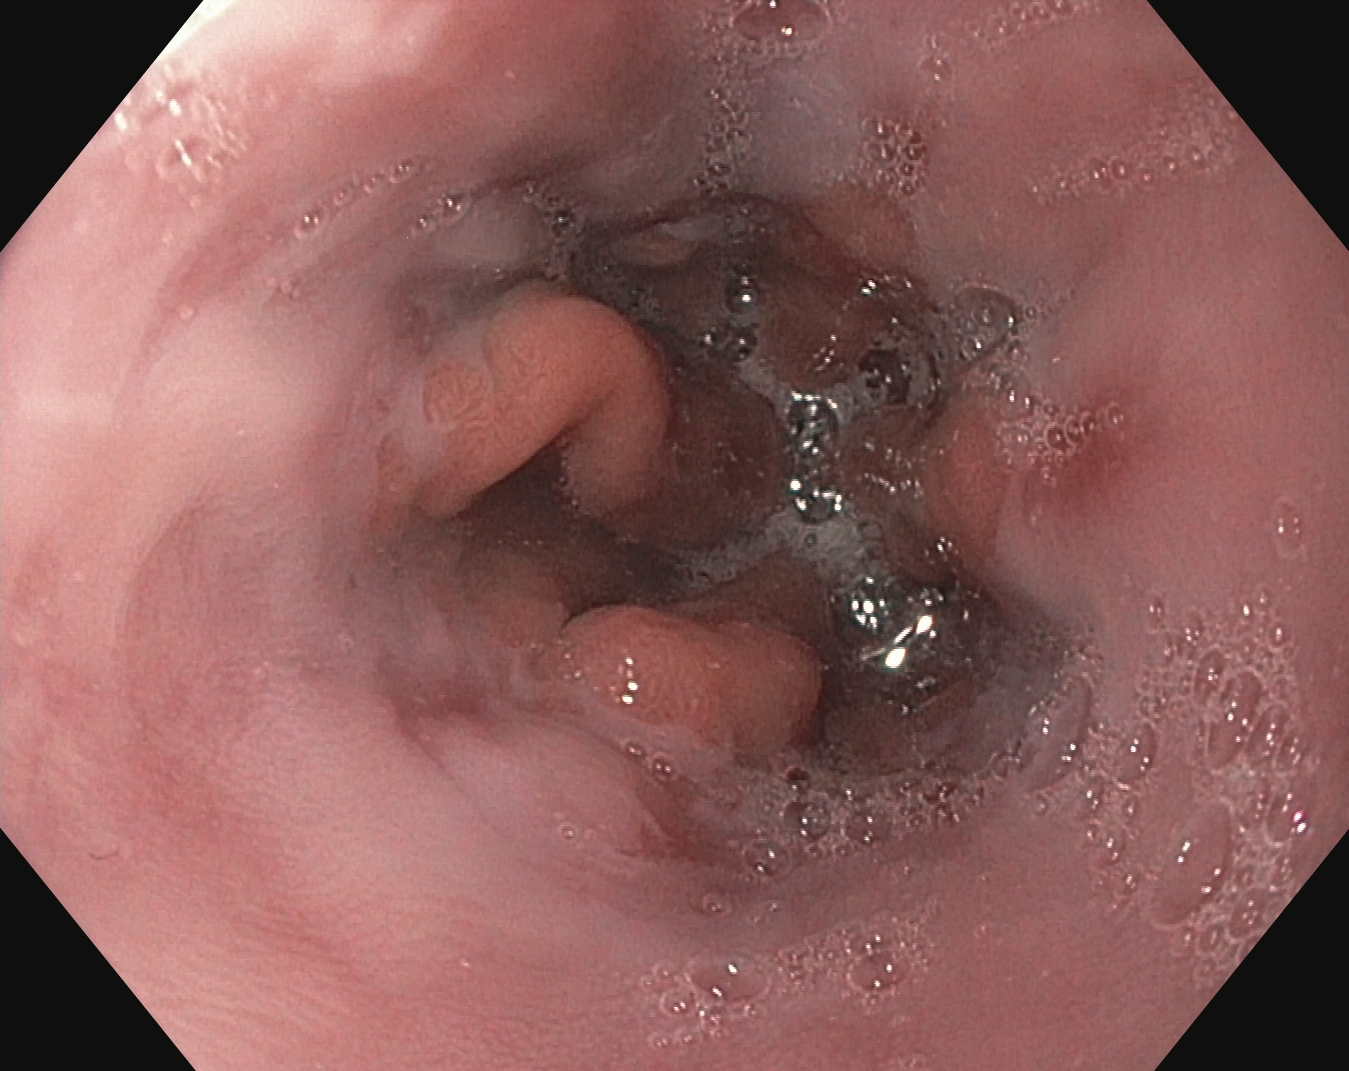reflux esophagitis, LA grade A.